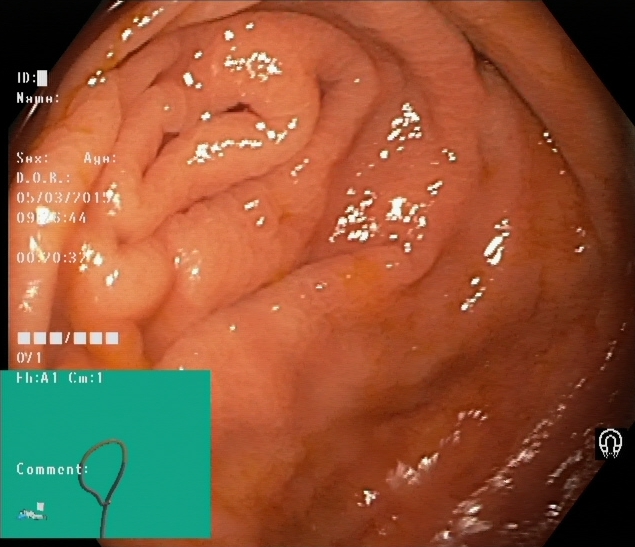Lower gastrointestinal endoscopy — cecum.